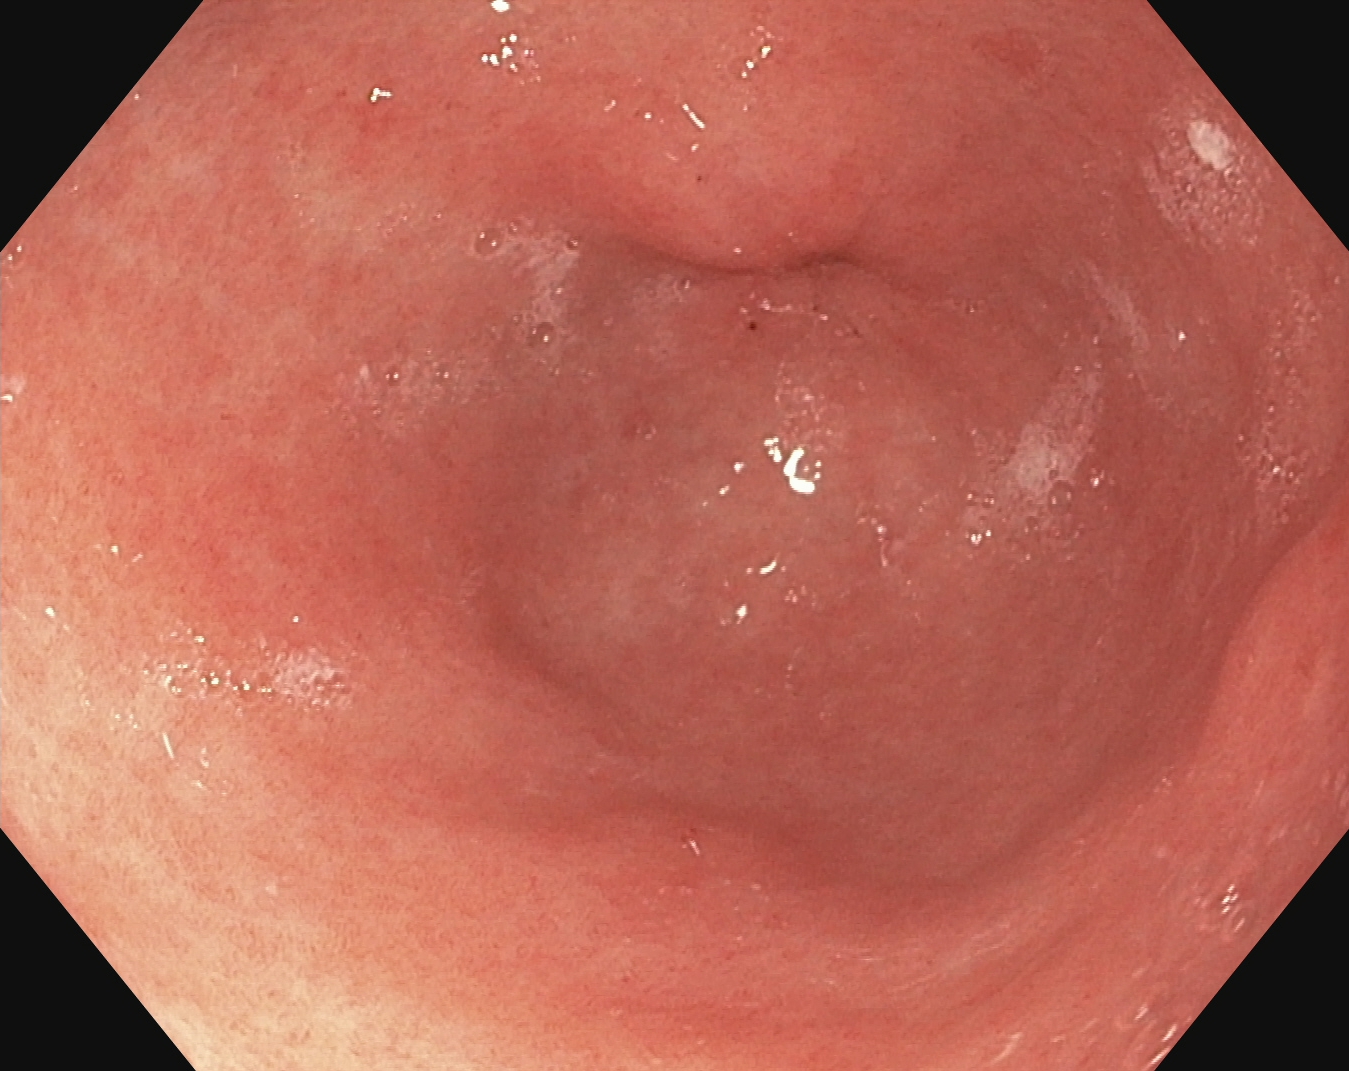{"modality": "gastroscopy", "tract": "upper GI tract", "category": "anatomical landmark", "finding": "pylorus"}